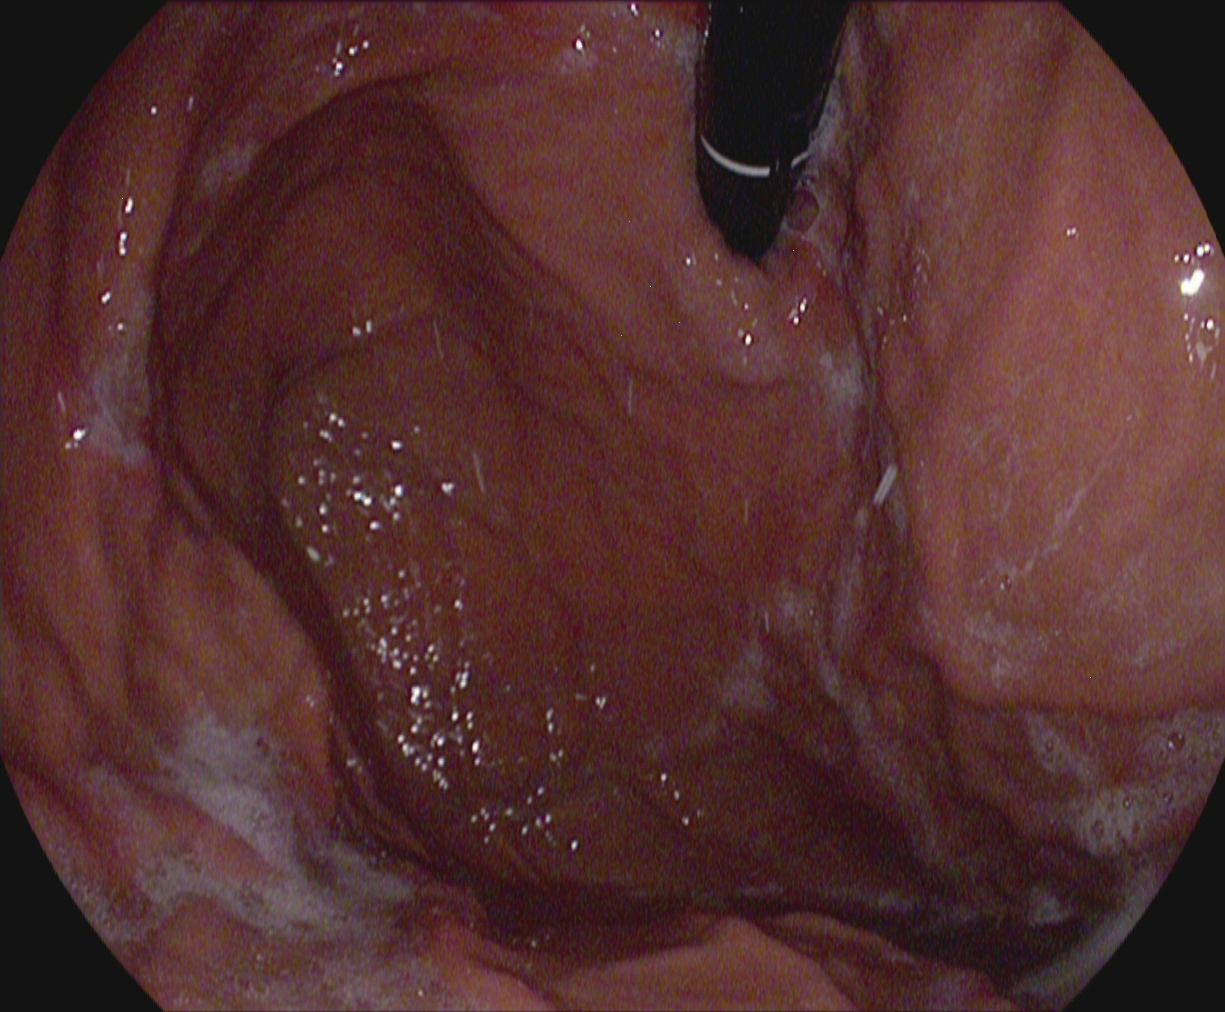Upper-GI endoscopy image showing stomach in retroflexion.